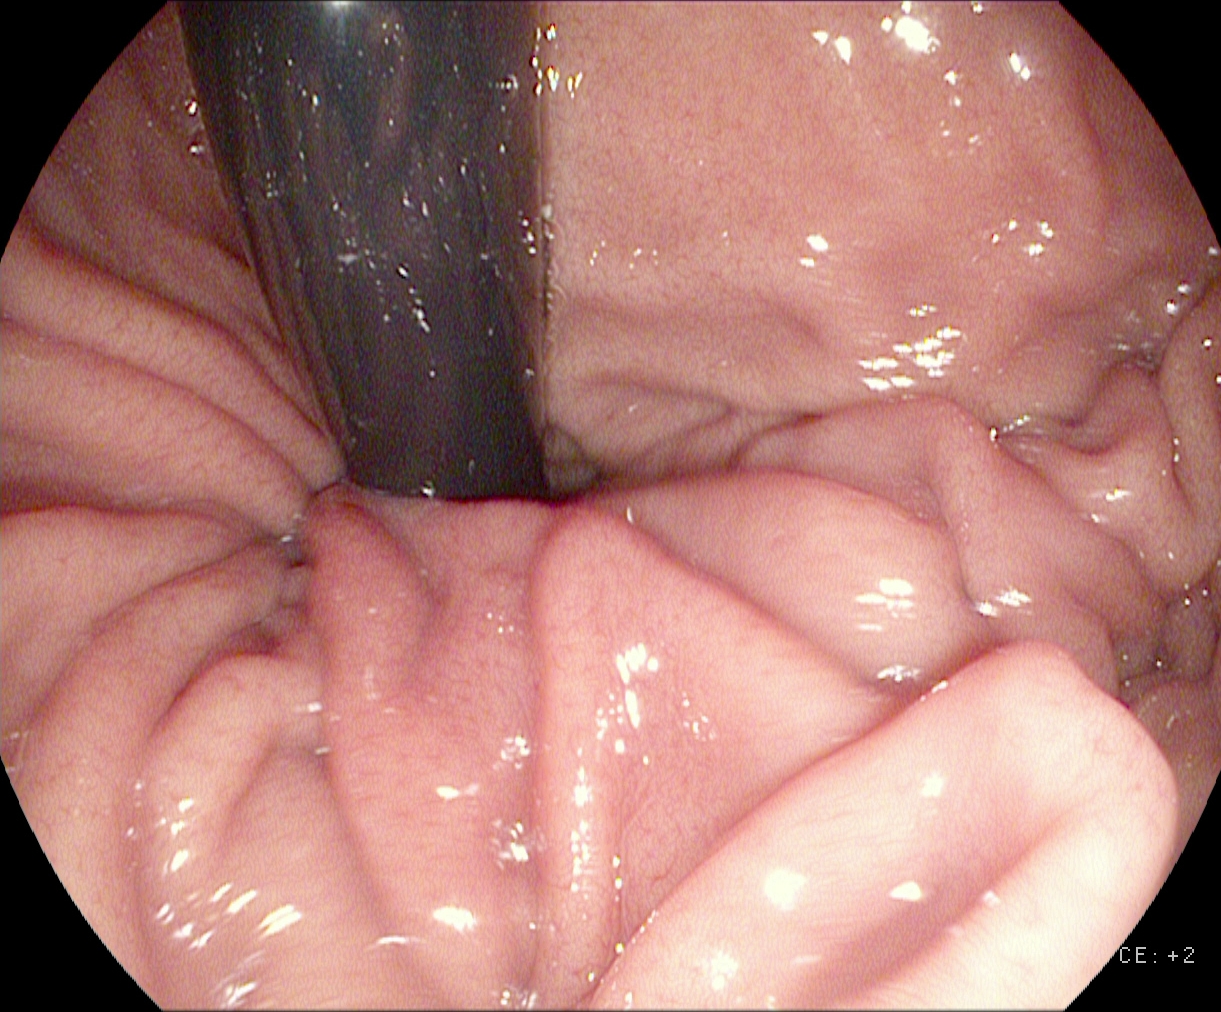GI endoscopy image of the upper GI tract showing stomach in retroflexion.